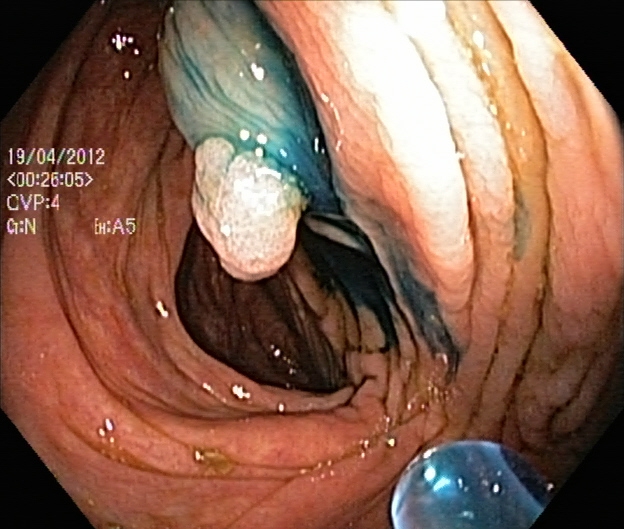This endoscopy frame of the lower GI tract shows dyed and lifted polyp (pre-resection).